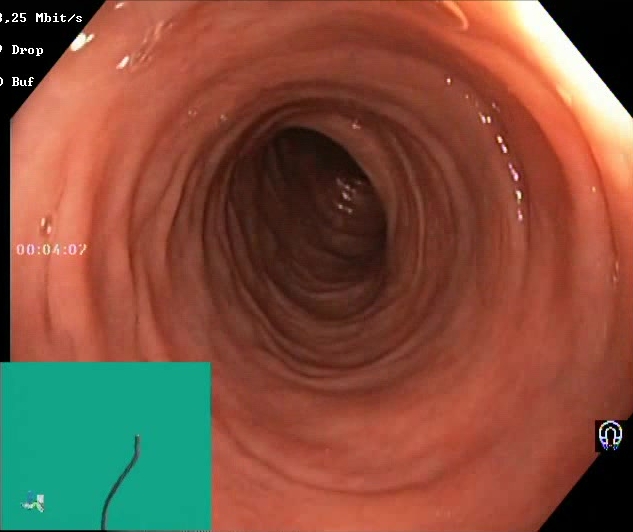Lower gastrointestinal endoscopy — BBPS score 2–3 (adequate preparation).